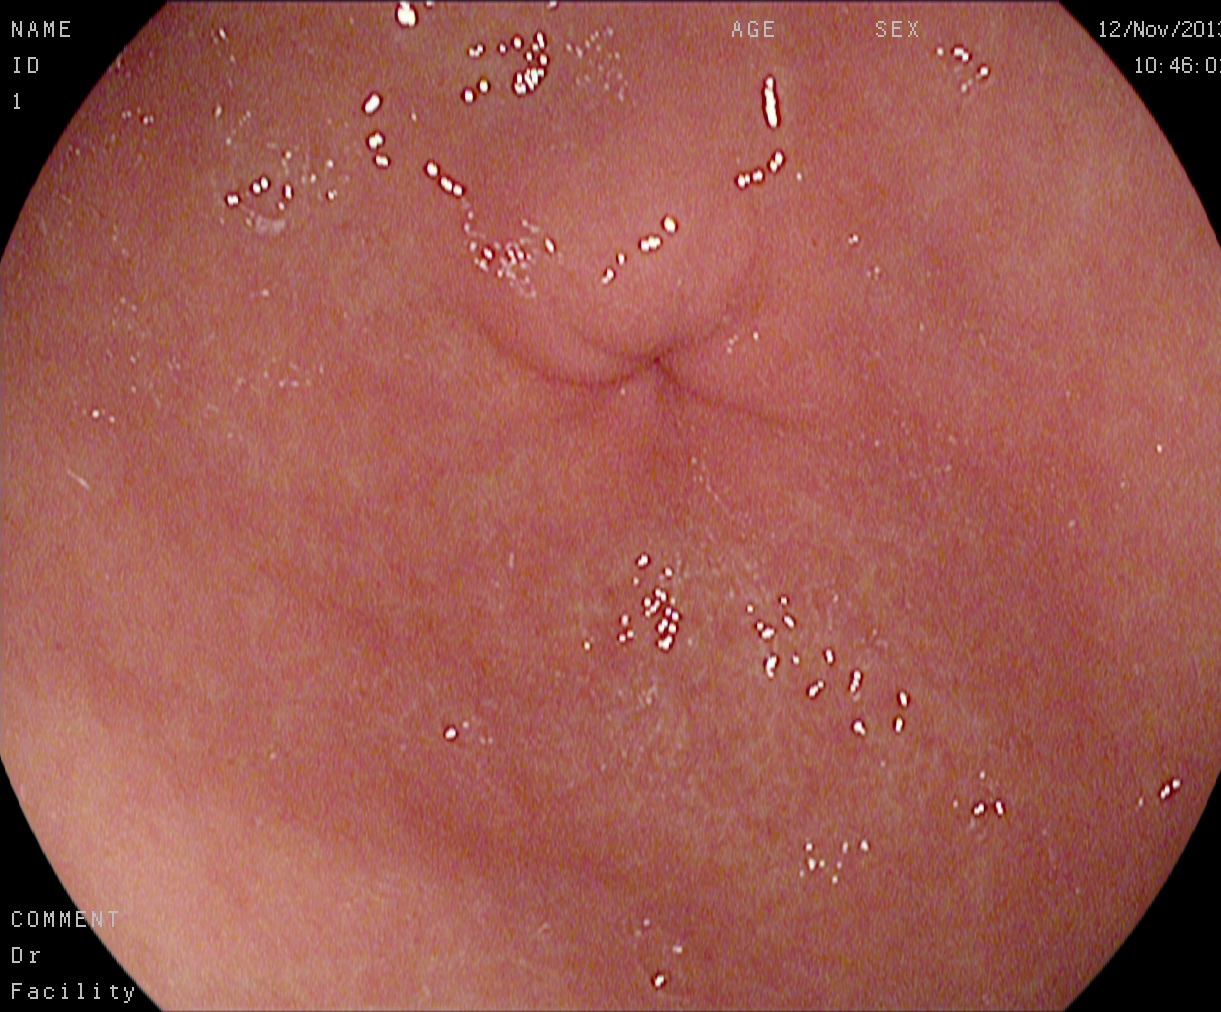Esophagogastroduodenoscopy image of the upper GI tract showing pylorus.